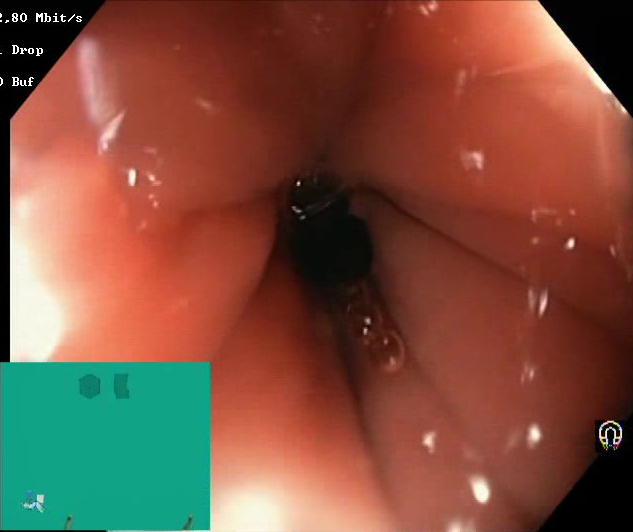Endoscopic image showing BBPS score 2–3 (adequate preparation).